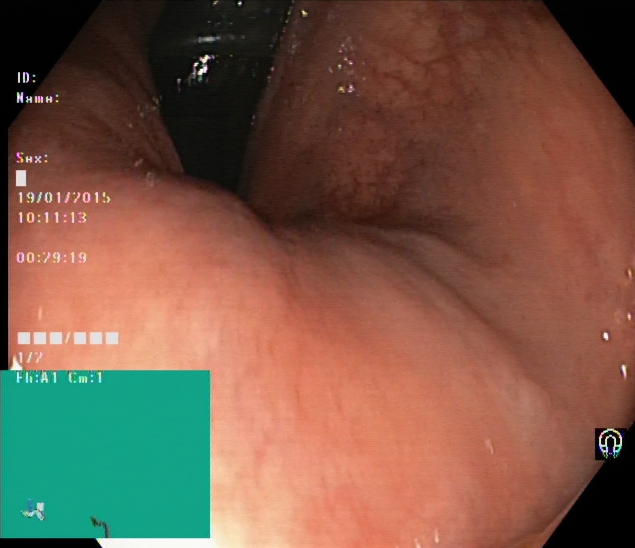modality: lower-GI endoscopy; tract: lower GI tract; finding: rectum in retroflexion